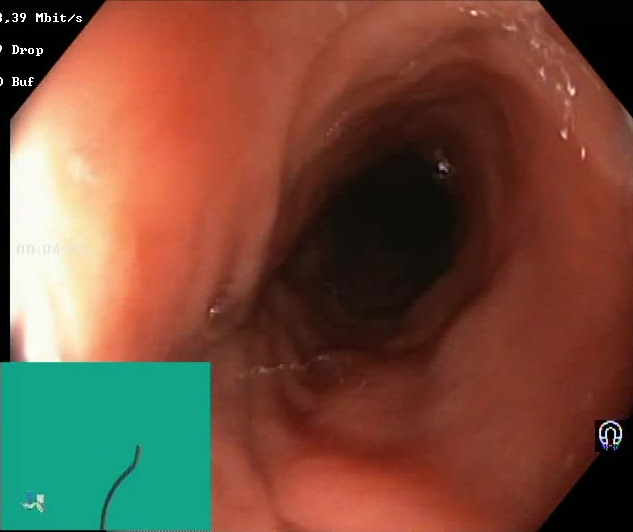PROCEDURE: Colonoscopy.
CATEGORY: Mucosal-view quality.
FINDINGS: Boston Bowel Preparation Scale score 2–3 (adequate preparation).